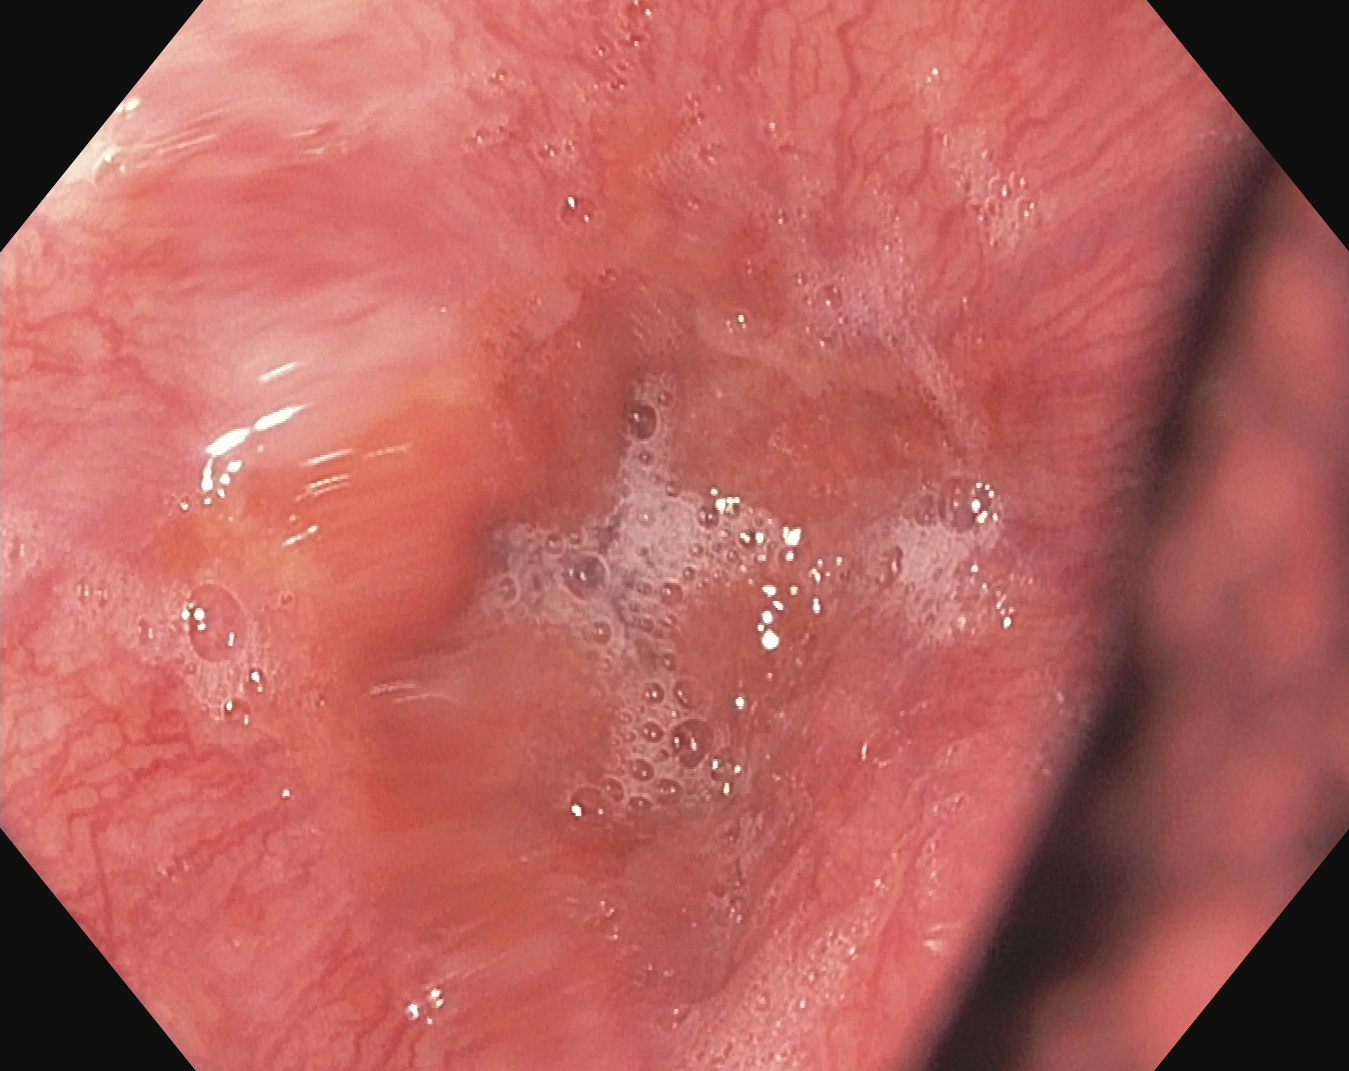GI endoscopy image of the upper GI tract showing Z-line (gastroesophageal junction).